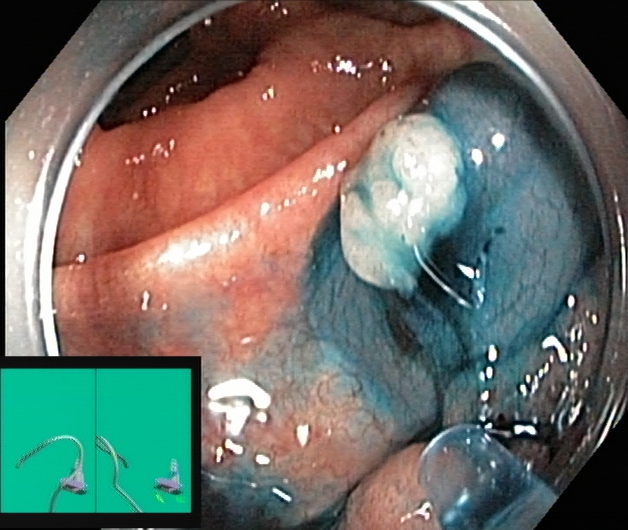Lower-GI endoscopy — dyed and lifted polyp (pre-resection).